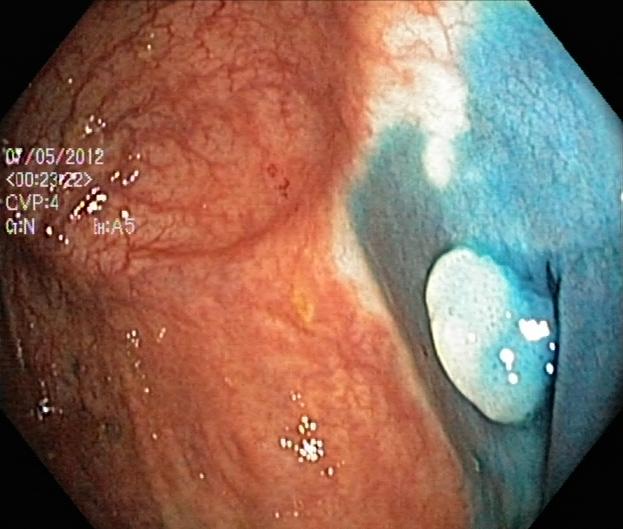PROCEDURE: Lower-GI endoscopy.
FINDINGS: Dyed and lifted polyp (pre-resection).